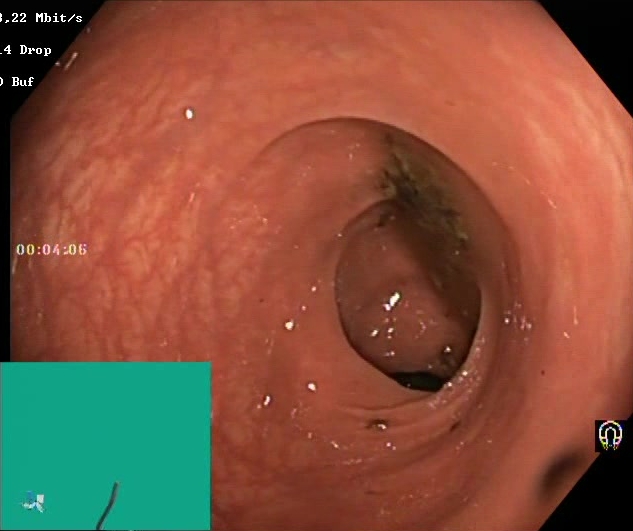This endoscopic image shows Boston Bowel Preparation Scale score 0–1 (inadequate preparation).